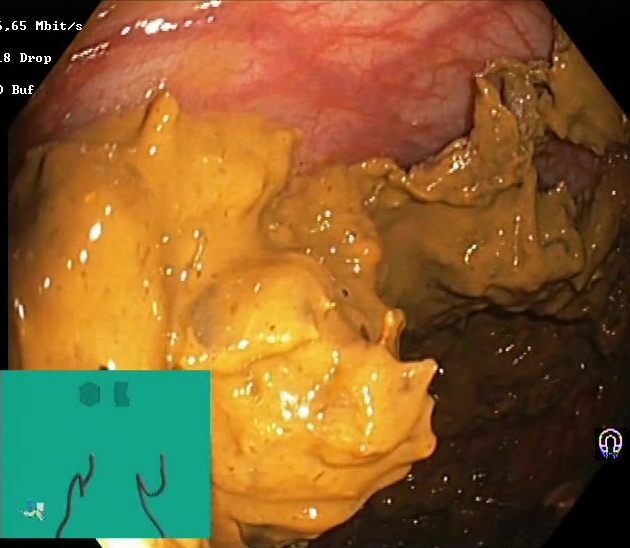Lower gastrointestinal endoscopy. Tract: lower GI tract. Finding: BBPS score 0–1 (inadequate preparation).